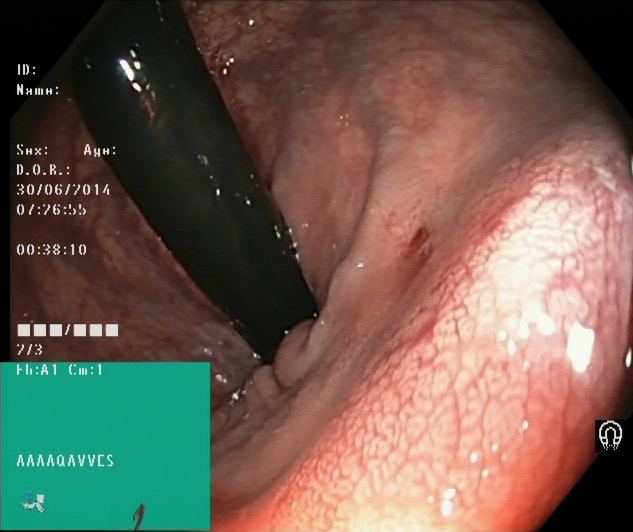modality: lower gastrointestinal endoscopy; tract: lower GI tract; category: anatomical landmark; finding: rectum in retroflexion